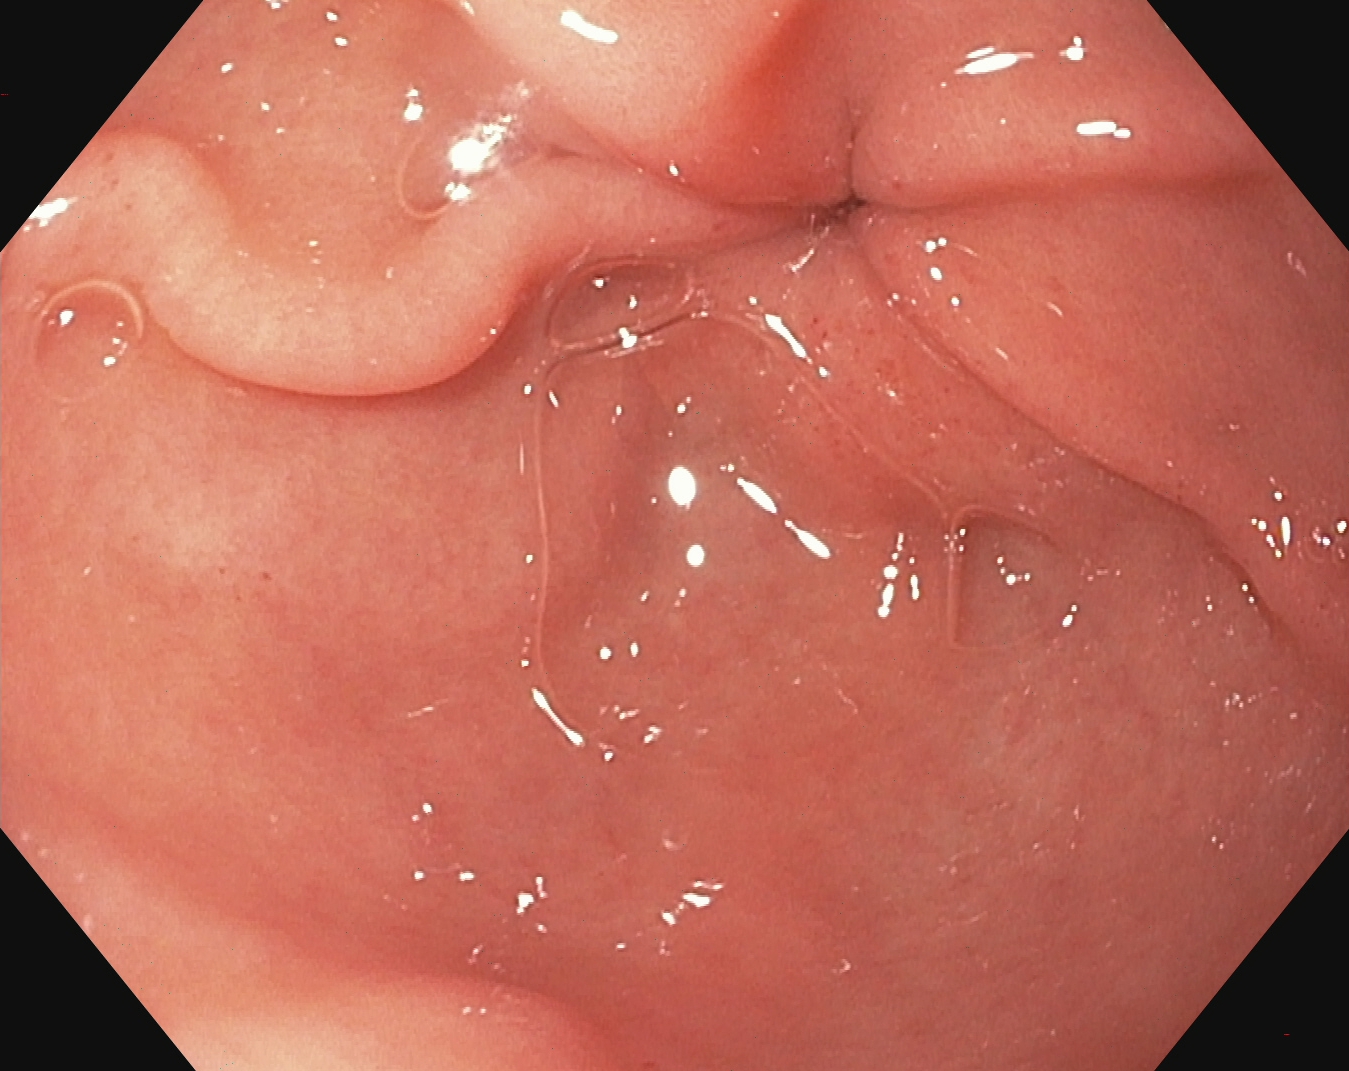PROCEDURE: Upper-GI endoscopy.
FINDINGS: Pylorus.